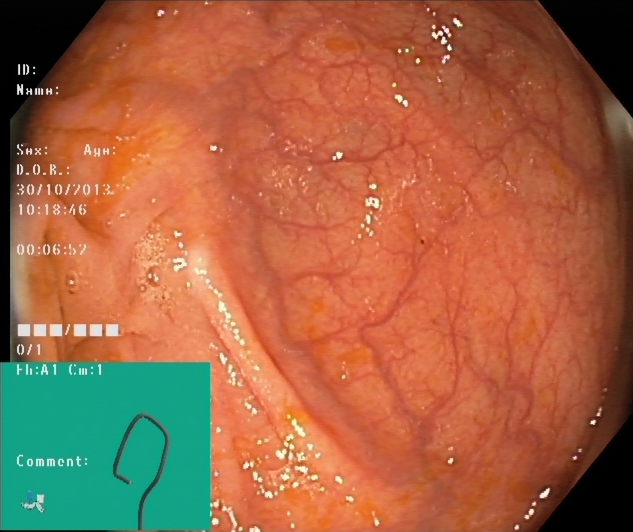modality: colonoscopy
tract: lower GI tract
finding: cecum